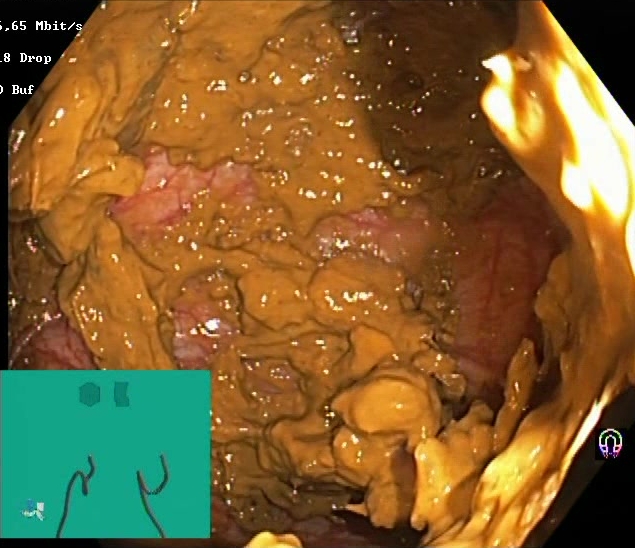Endoscopy image showing Boston Bowel Preparation Scale score 0–1 (inadequate preparation).